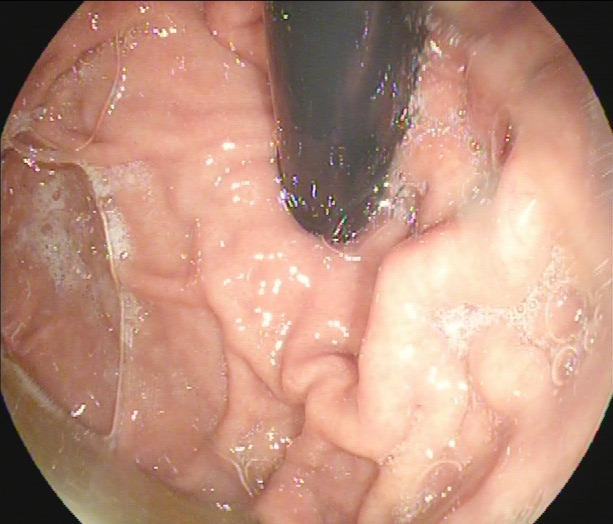This endoscopic image of the upper GI tract shows stomach in retroflexion.